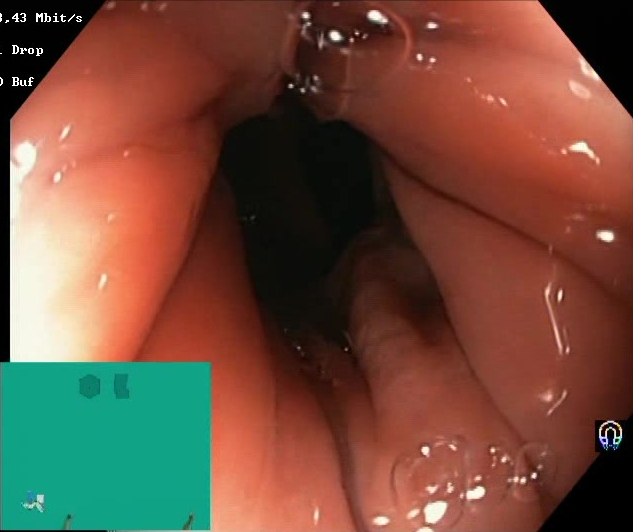Boston Bowel Preparation Scale score 2–3 (adequate preparation).